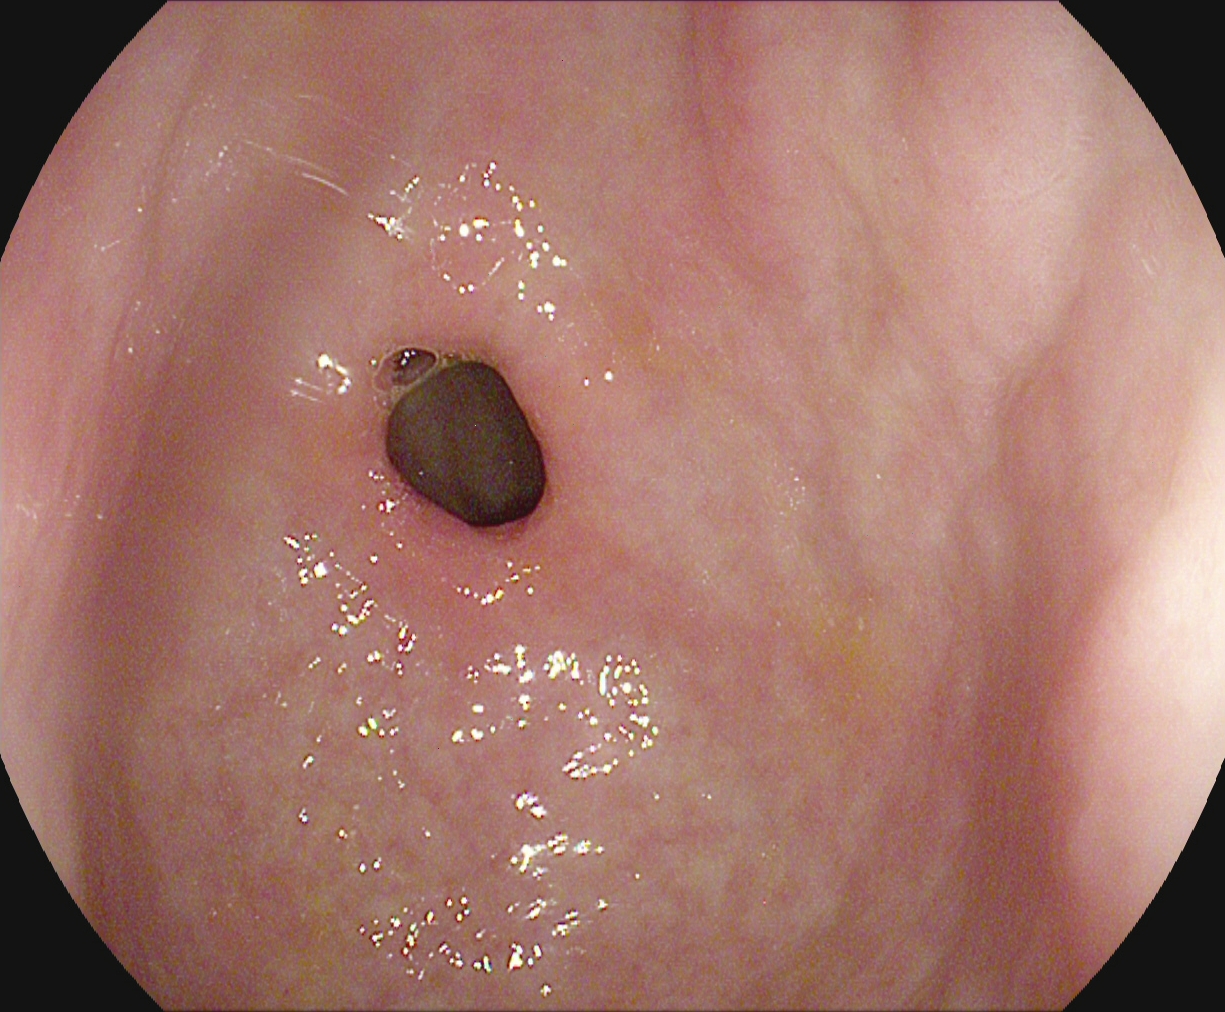Upper-GI endoscopy image showing pylorus.